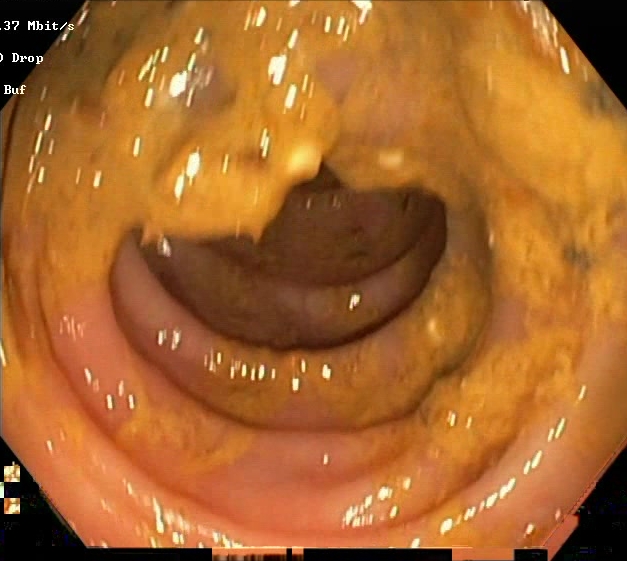This endoscopy frame shows Boston Bowel Preparation Scale score 0–1 (inadequate preparation).